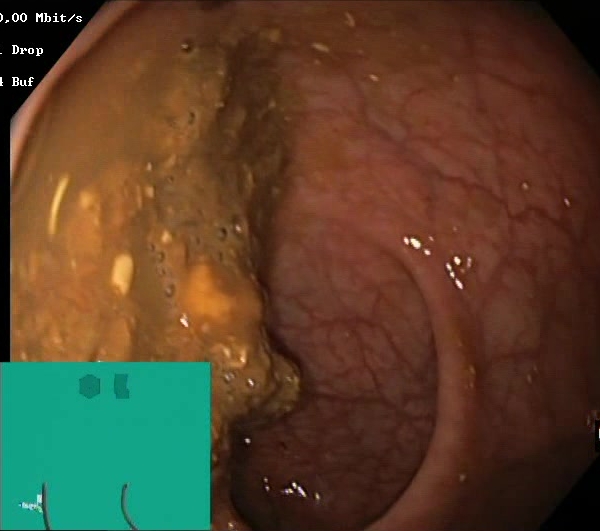Boston Bowel Preparation Scale score 0–1 (inadequate preparation).